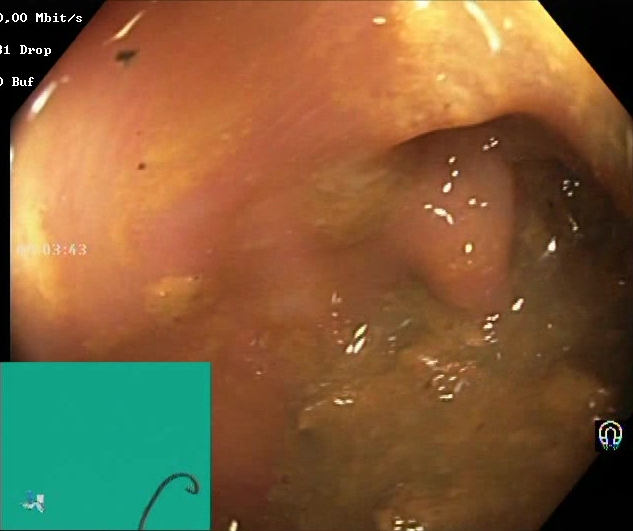Colonoscopy image showing Boston Bowel Preparation Scale score 0–1 (inadequate preparation).